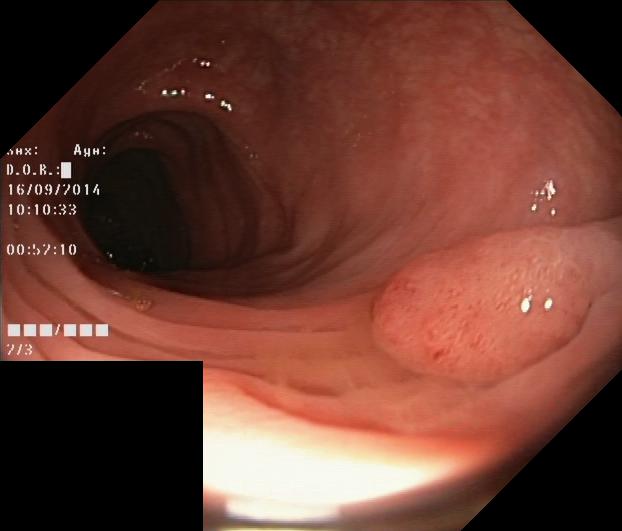colorectal polyp(s).